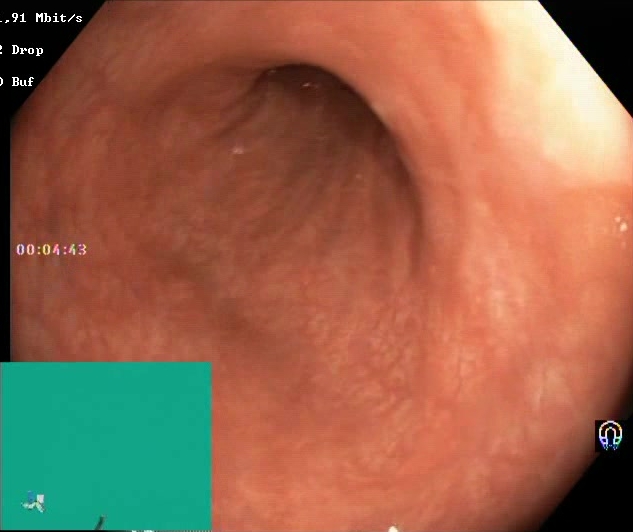Endoscopic frame of the lower GI tract showing Boston Bowel Preparation Scale score 2–3 (adequate preparation).